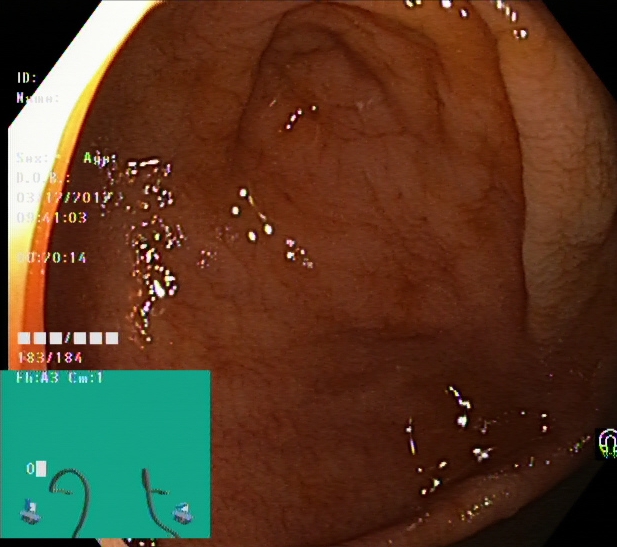This endoscopic image of the lower GI tract shows cecum.